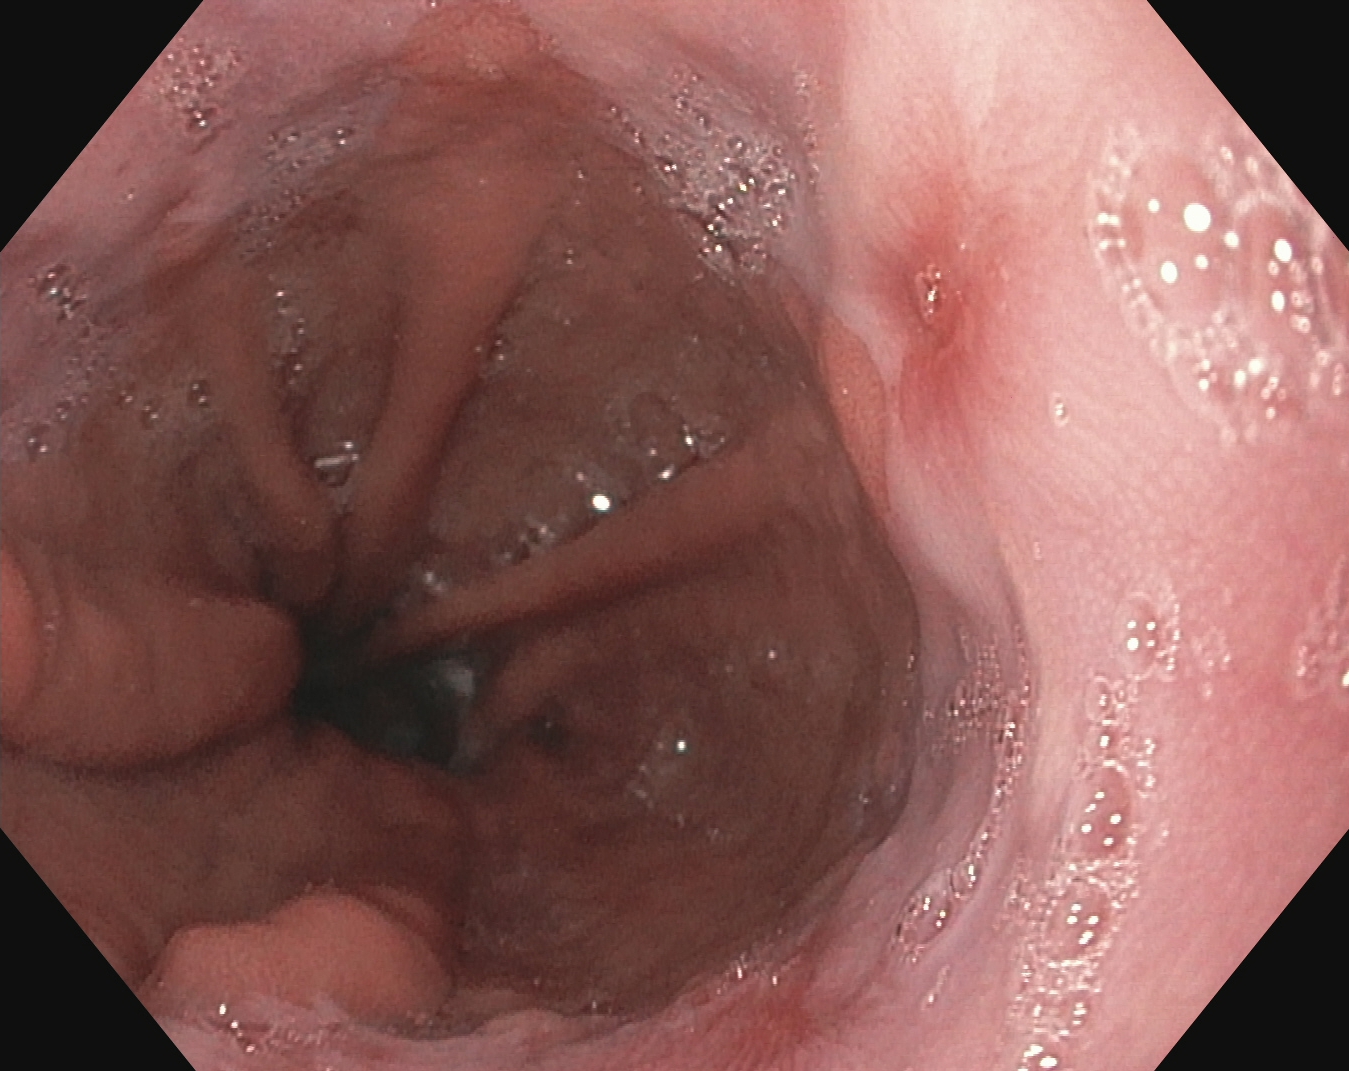Reflux esophagitis, Los Angeles grade B–D.